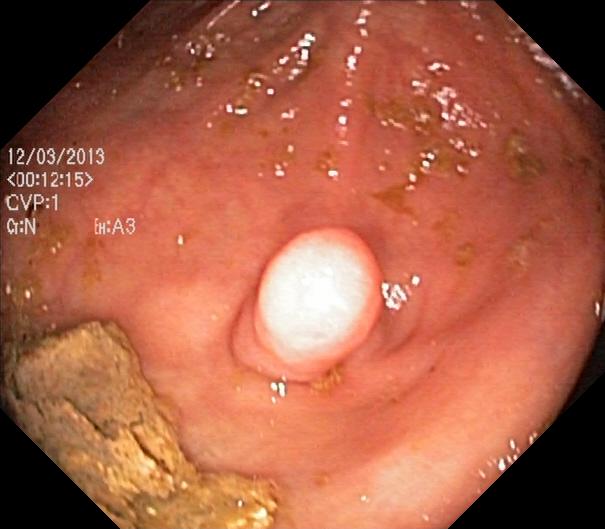PROCEDURE: Lower gastrointestinal endoscopy.
FINDINGS: Colorectal polyp(s).